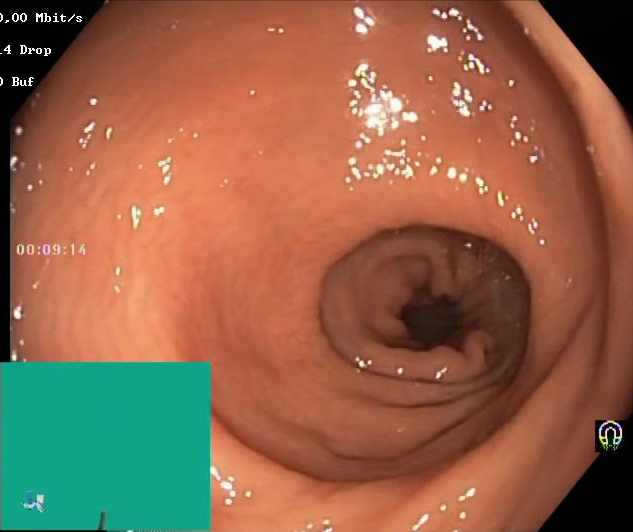modality: colonoscopy; finding: Boston Bowel Preparation Scale score 2–3 (adequate preparation)